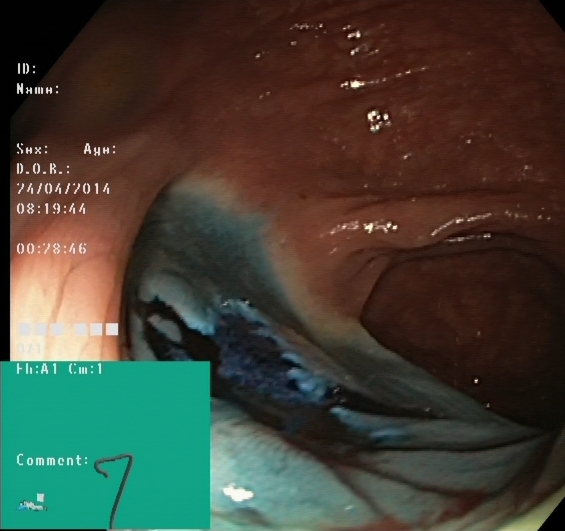Colonoscopy. Tract: lower GI tract. Therapeutic intervention. Finding: dyed resection margins (post-polypectomy).